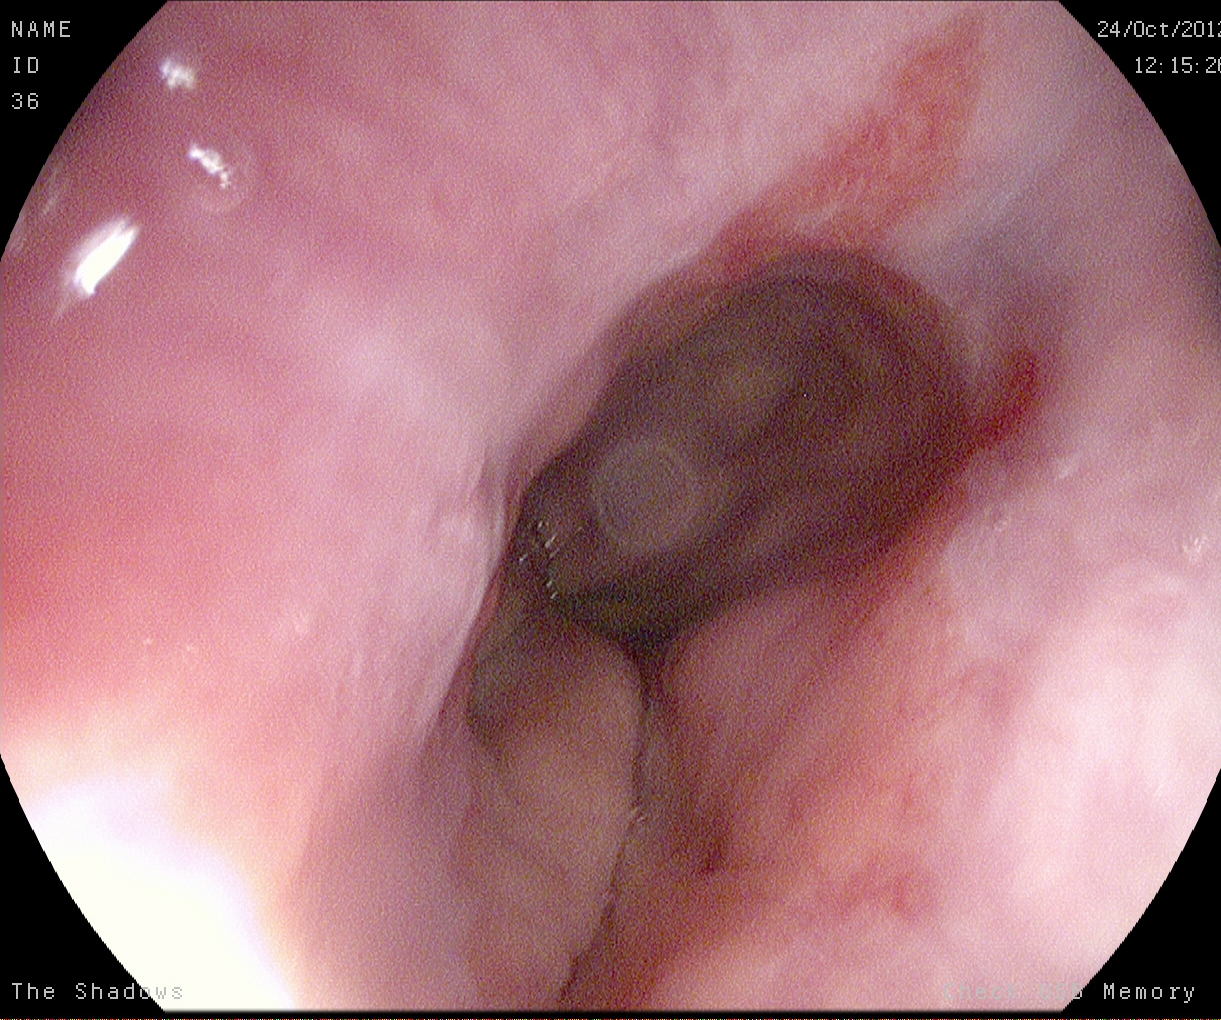Reflux esophagitis, LA grade A.